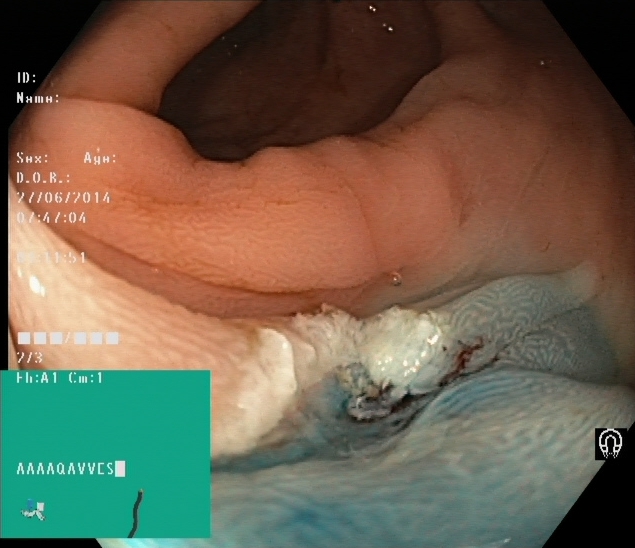modality: lower gastrointestinal endoscopy | tract: lower GI tract | category: therapeutic intervention | finding: dyed resection margins (post-polypectomy)